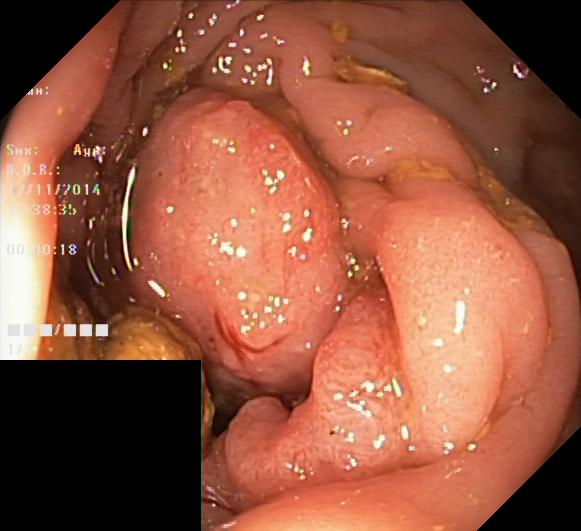modality: lower-GI endoscopy
category: pathological finding
finding: colorectal polyp(s)